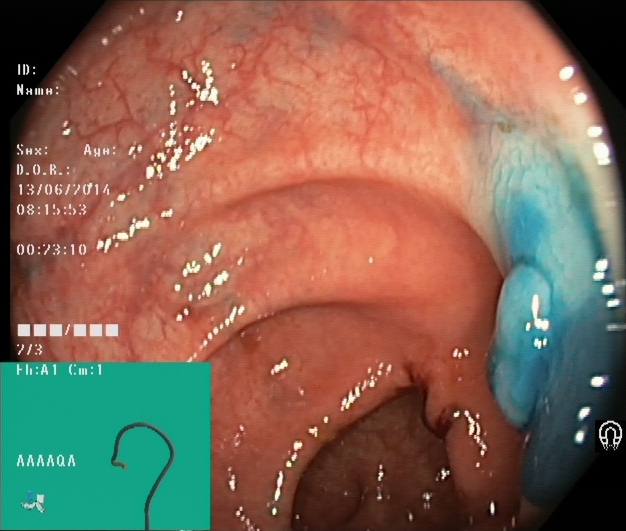This endoscopy frame shows dyed and lifted polyp (pre-resection).